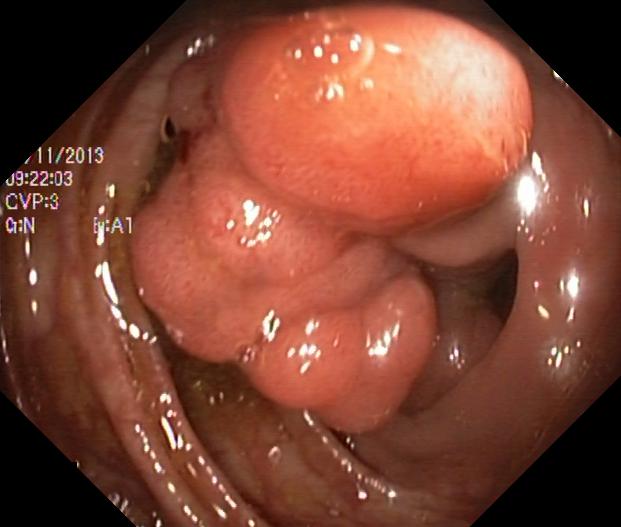modality: colonoscopy | finding: colorectal polyp(s)